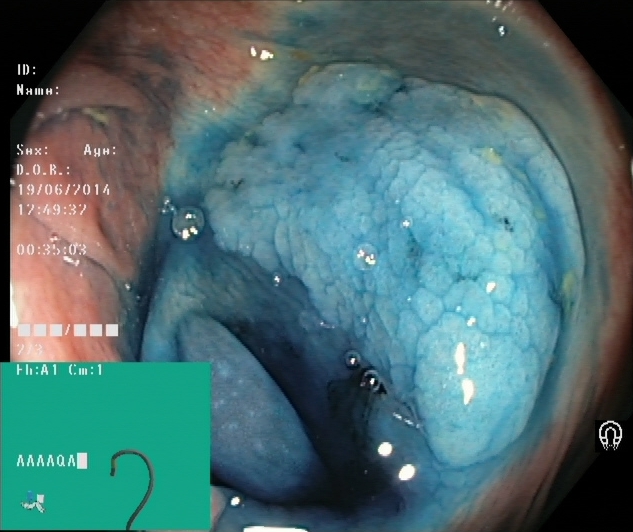Lower gastrointestinal endoscopy — dyed and lifted polyp (pre-resection).